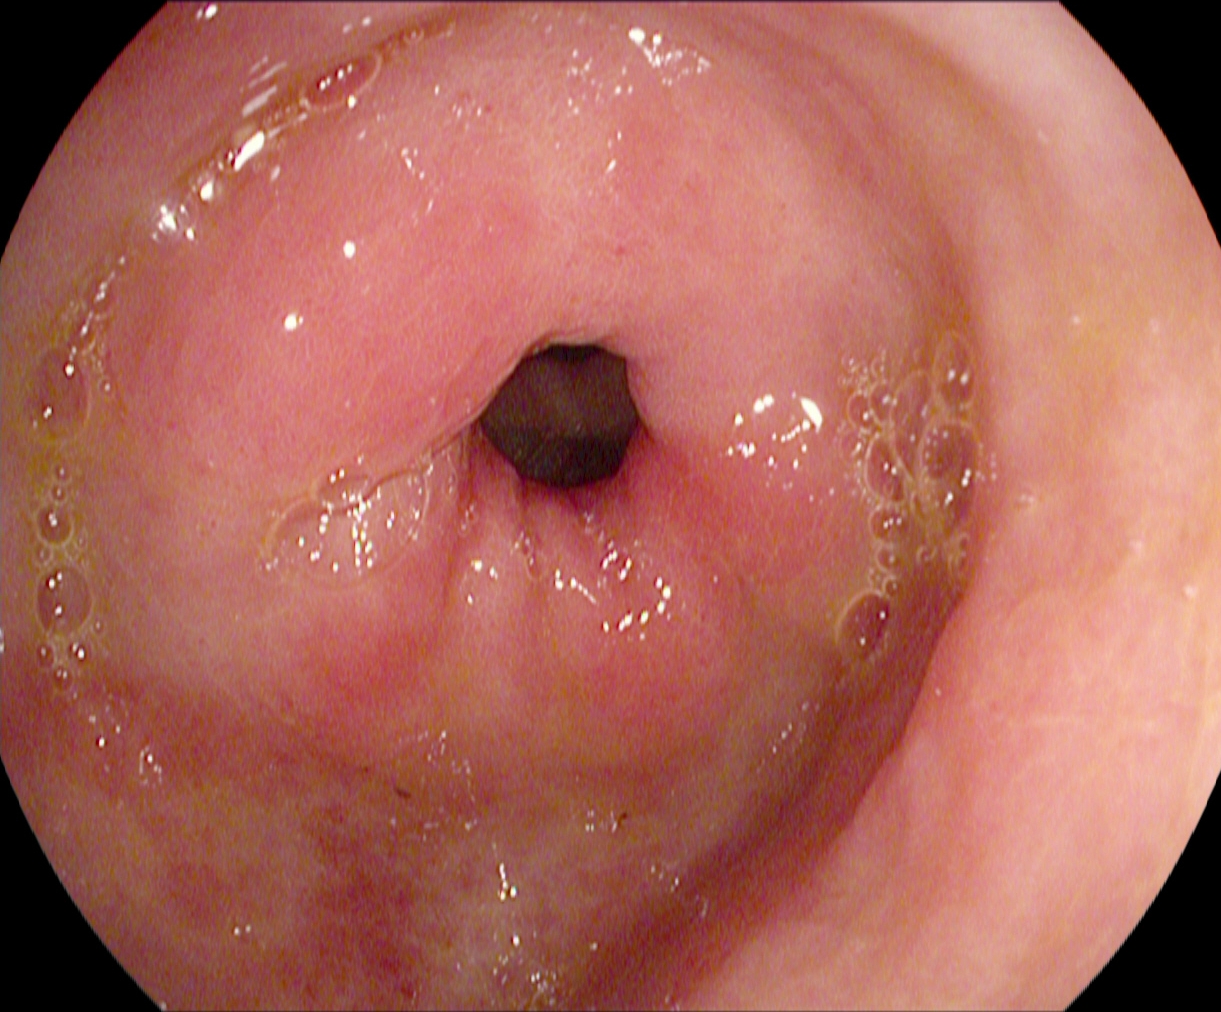modality: esophagogastroduodenoscopy
category: anatomical landmark
finding: pylorus